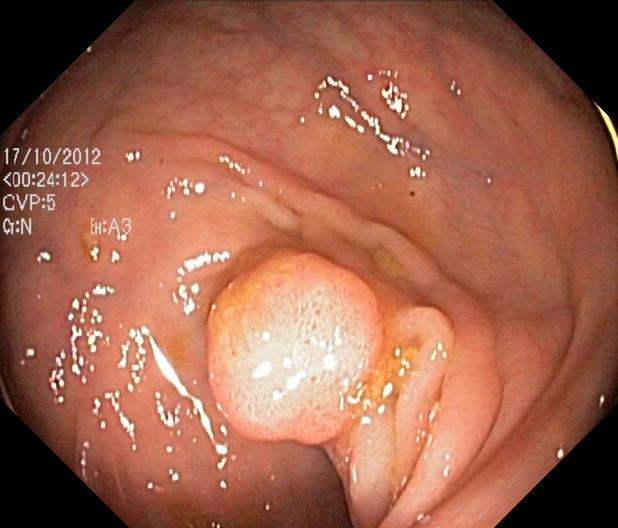modality: lower gastrointestinal endoscopy
tract: lower GI tract
finding: colorectal polyp(s)